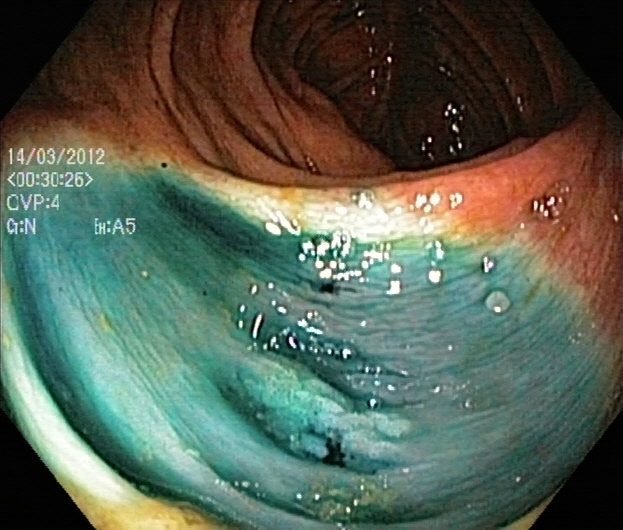Colonoscopy — dyed and lifted polyp (pre-resection).